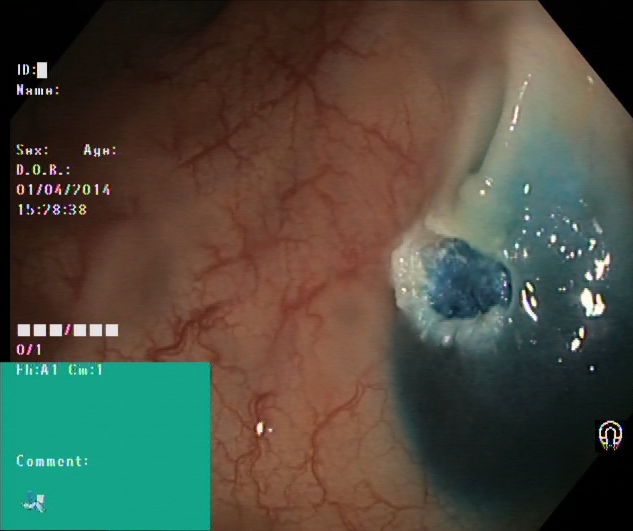This endoscopy frame shows dyed resection margins (post-polypectomy).